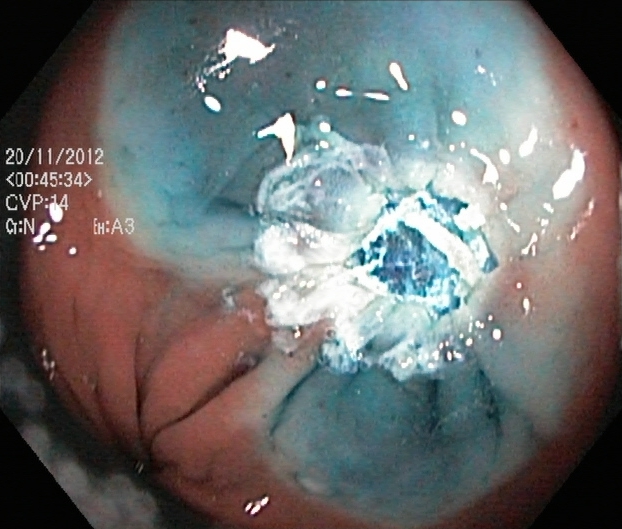PROCEDURE: Lower-GI endoscopy.
FINDINGS: Dyed resection margins (post-polypectomy).